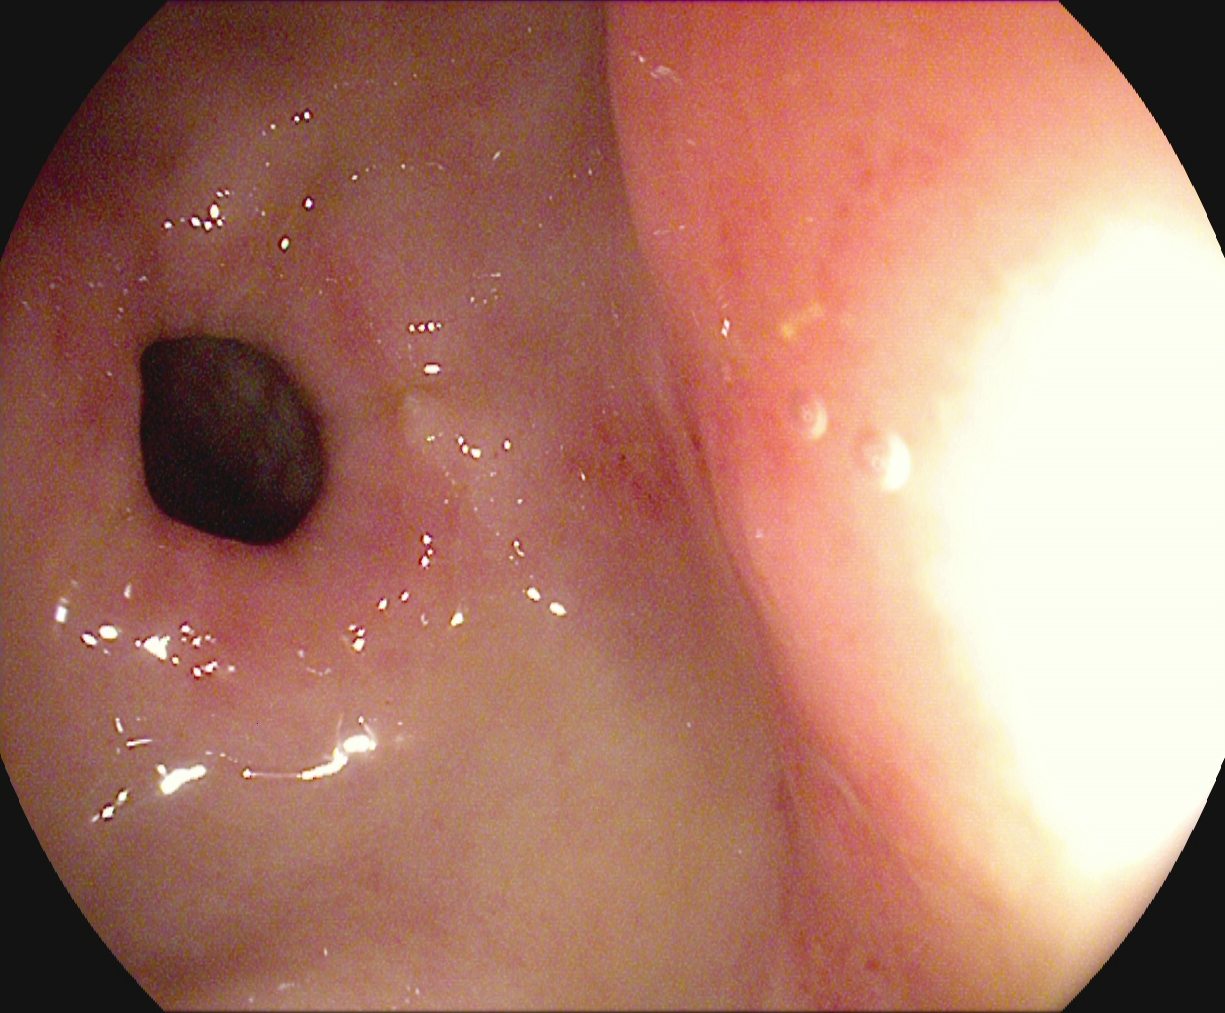modality: EGD
tract: upper GI tract
finding: pylorus